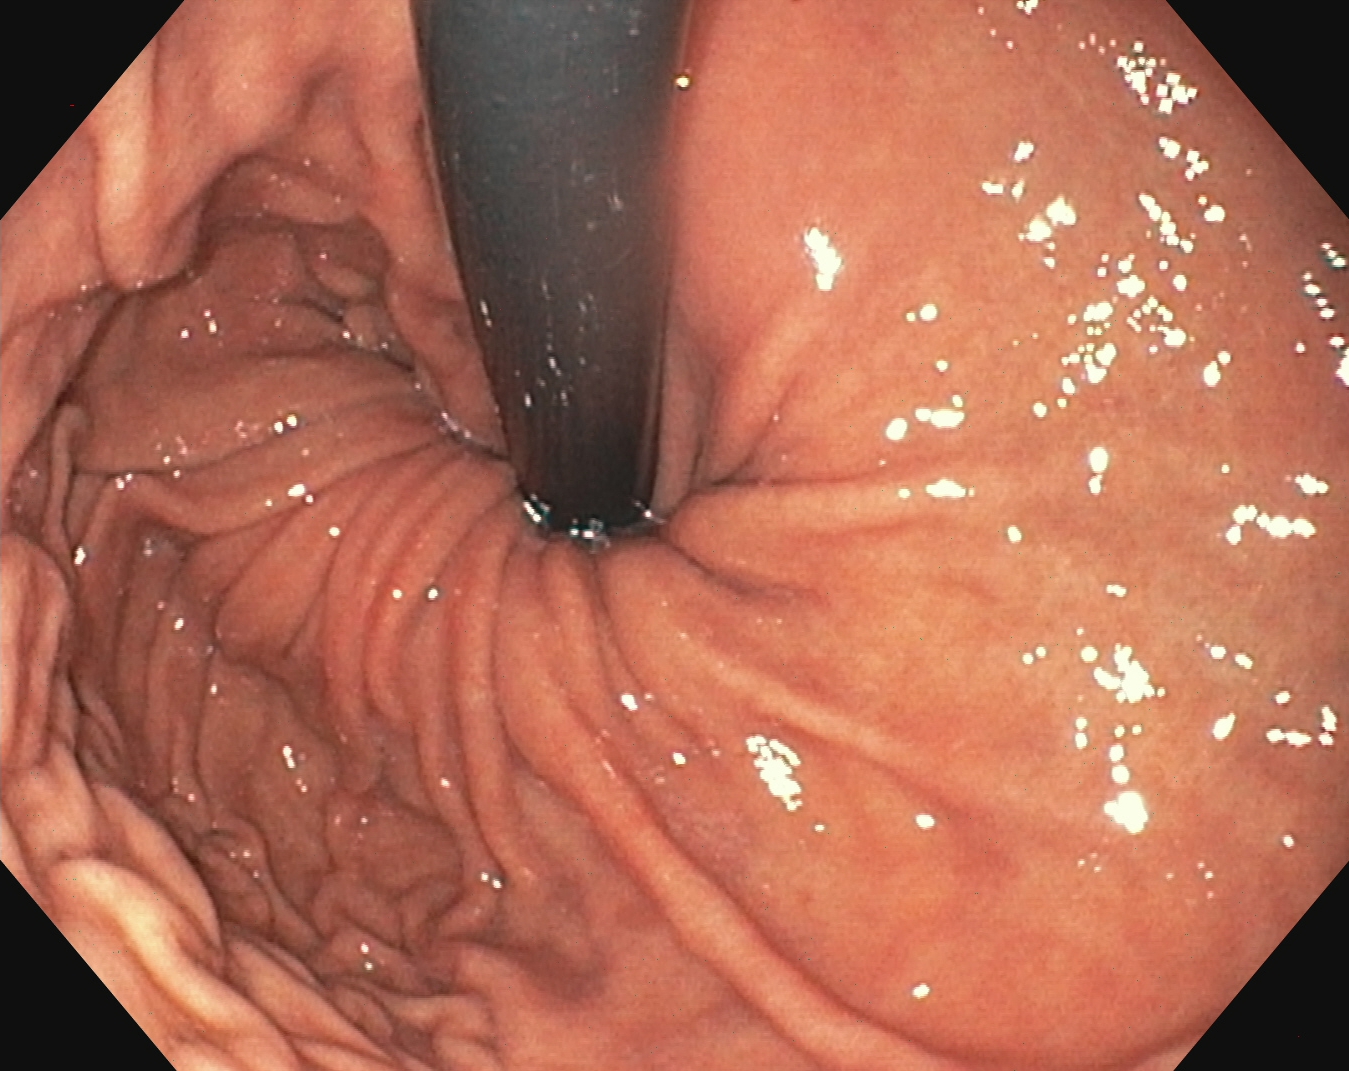stomach in retroflexion.